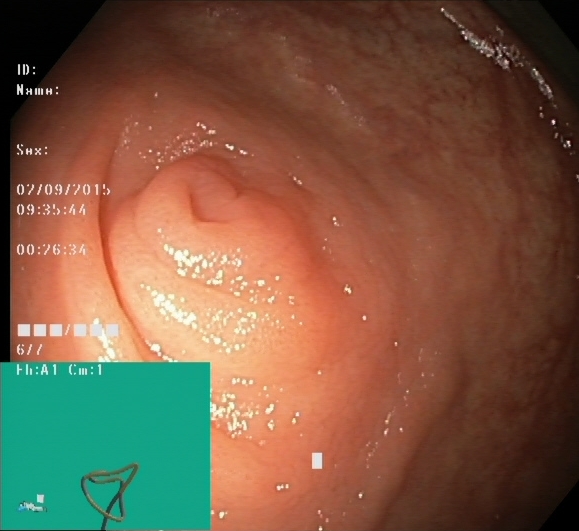Endoscopy image showing cecum.